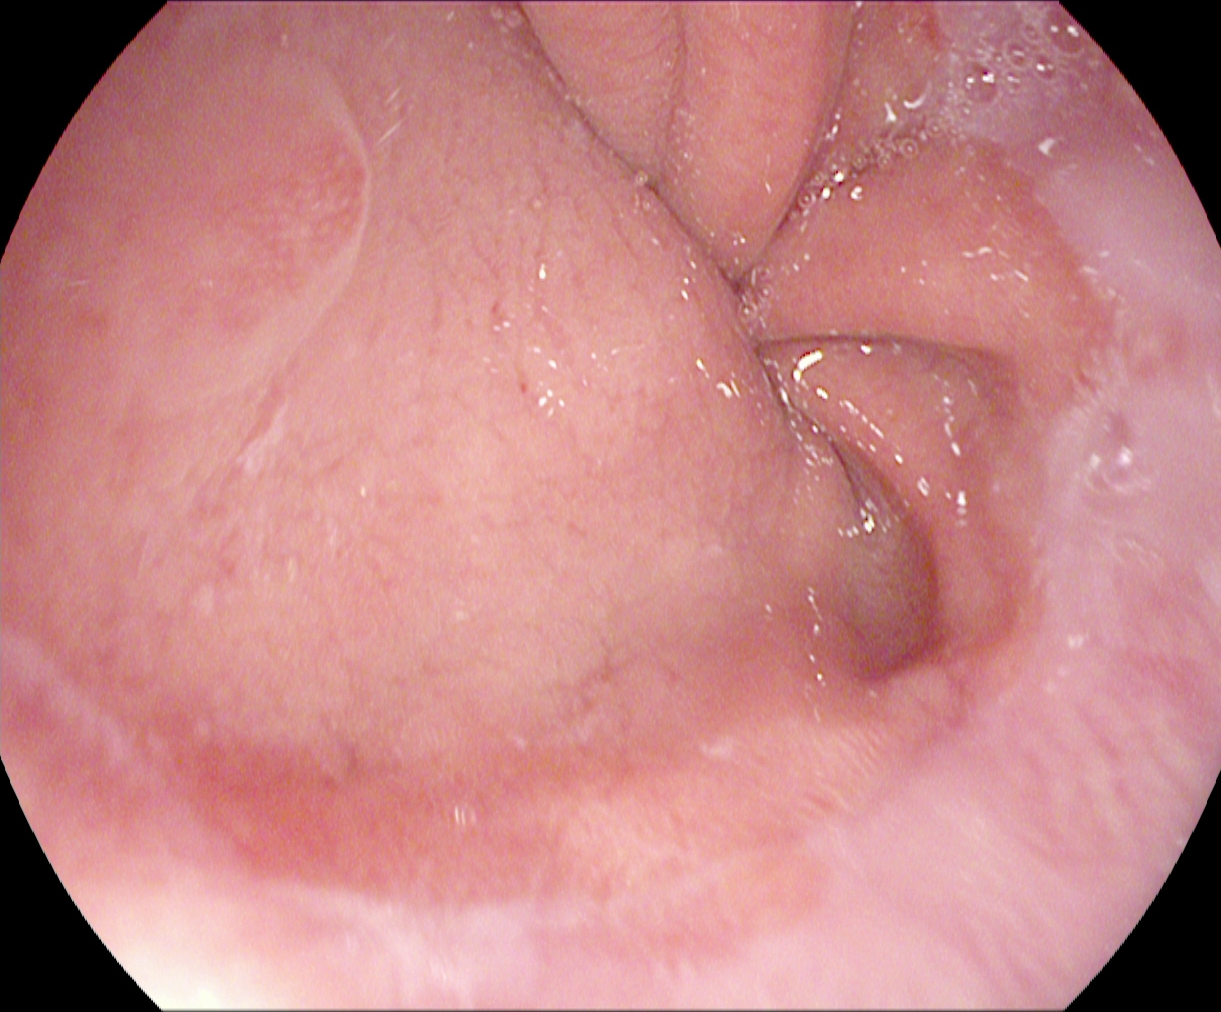PROCEDURE: EGD.
CATEGORY: Anatomical landmark.
FINDINGS: Z-line (gastroesophageal junction).